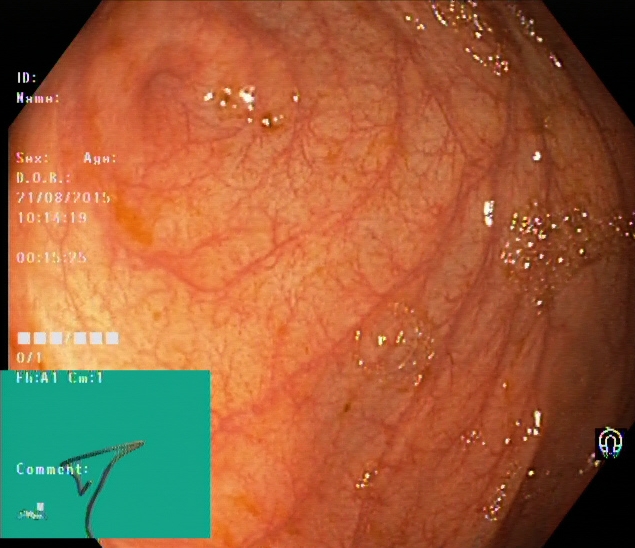Cecum.